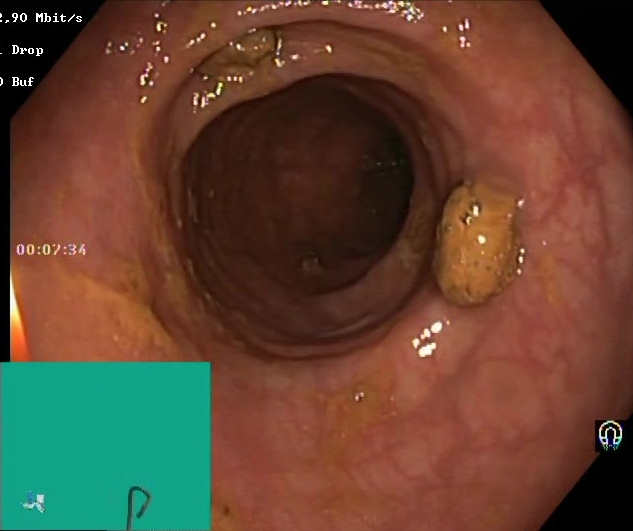Lower gastrointestinal endoscopy. Finding: Boston Bowel Preparation Scale score 2–3 (adequate preparation).